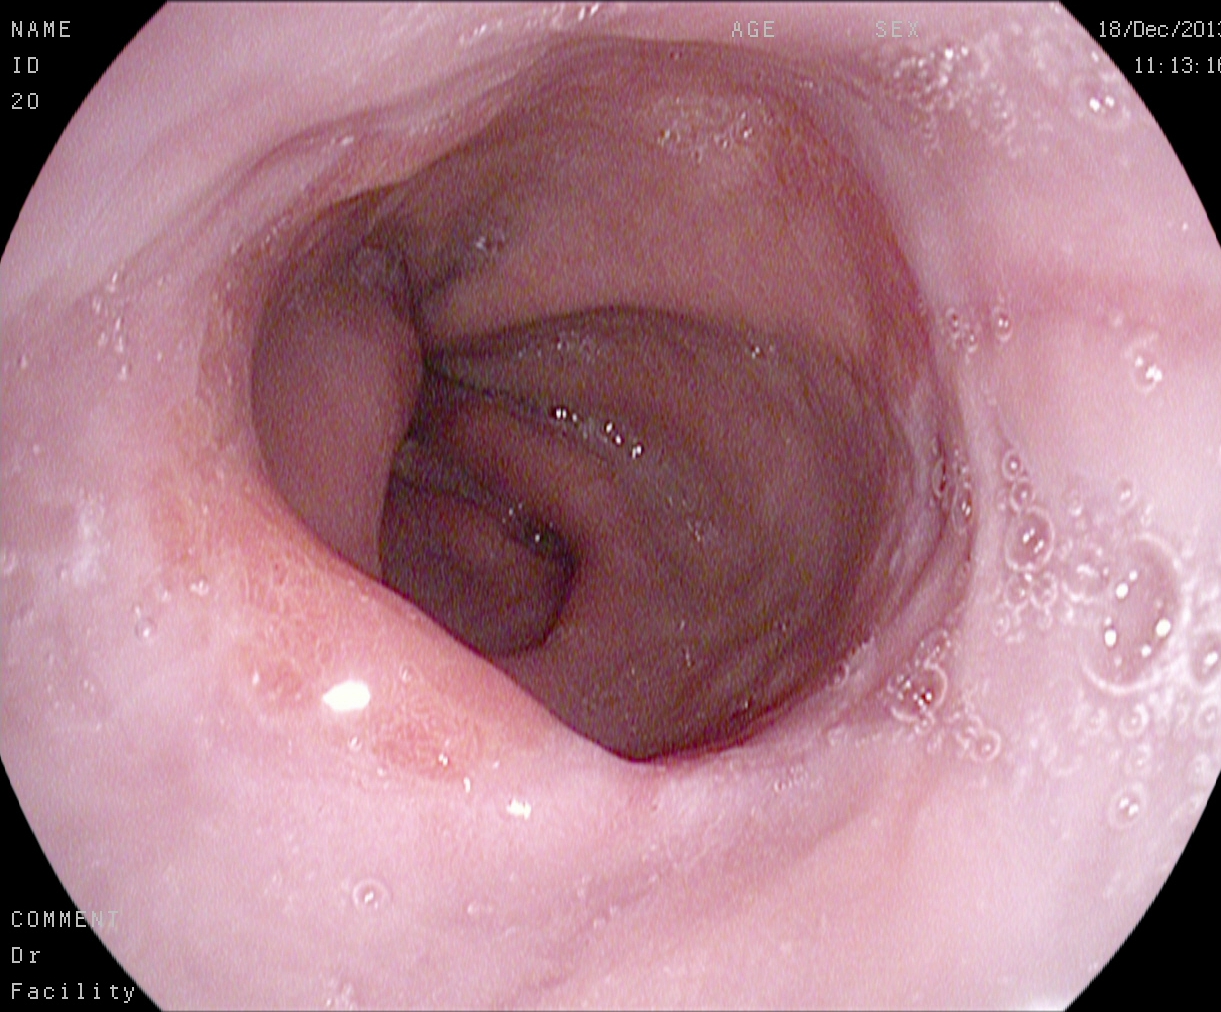Esophagogastroduodenoscopy — reflux esophagitis, Los Angeles grade A.